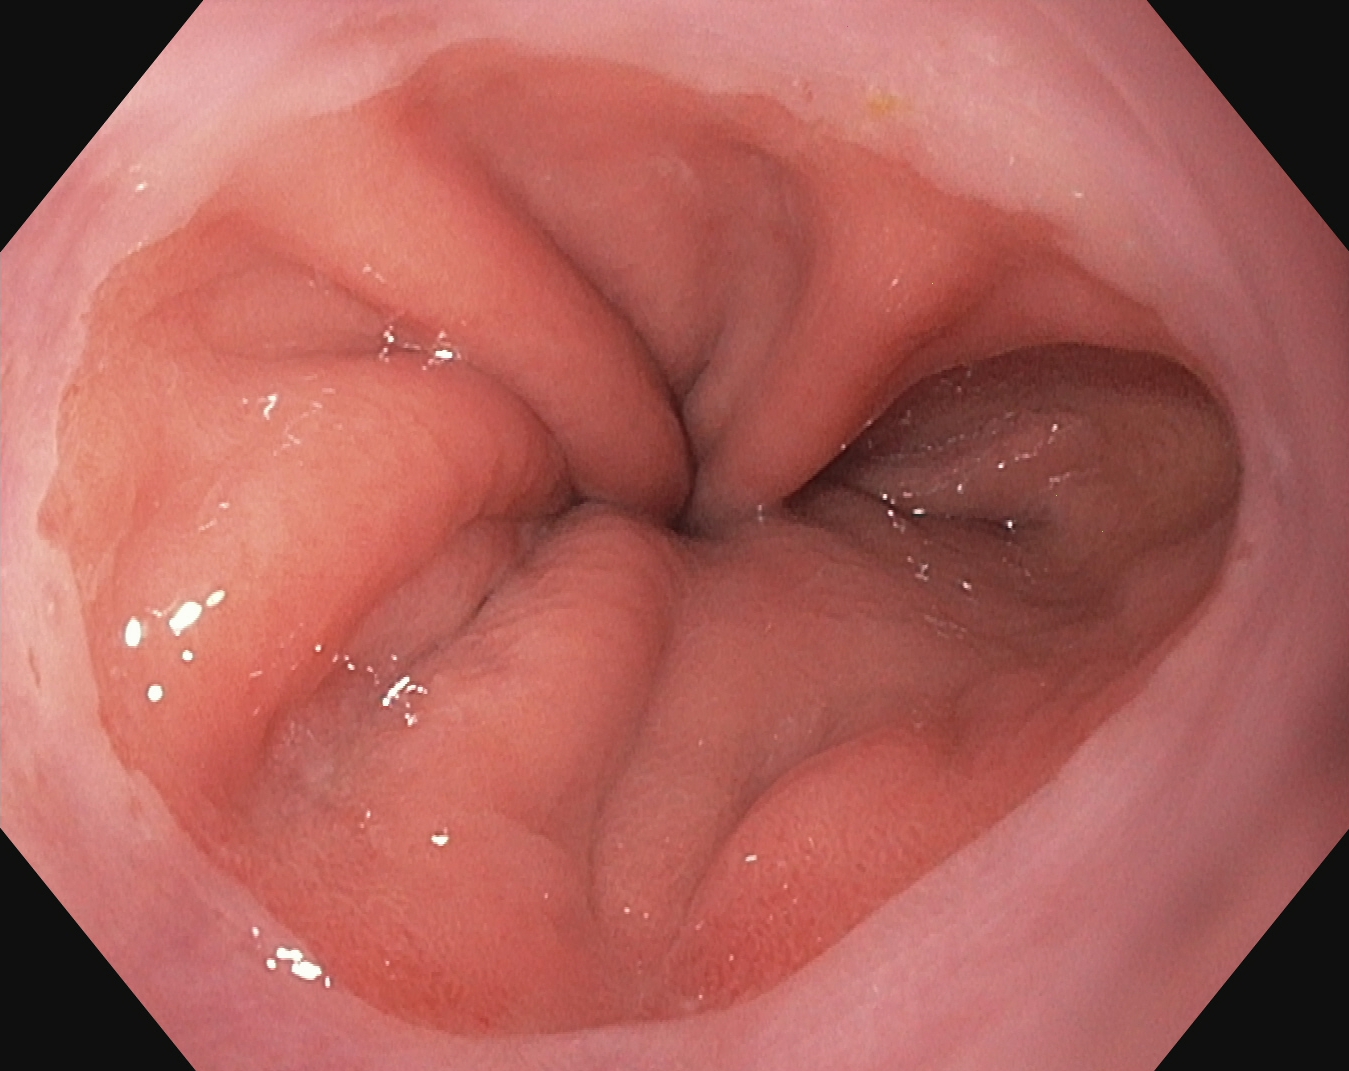Z-line (gastroesophageal junction).